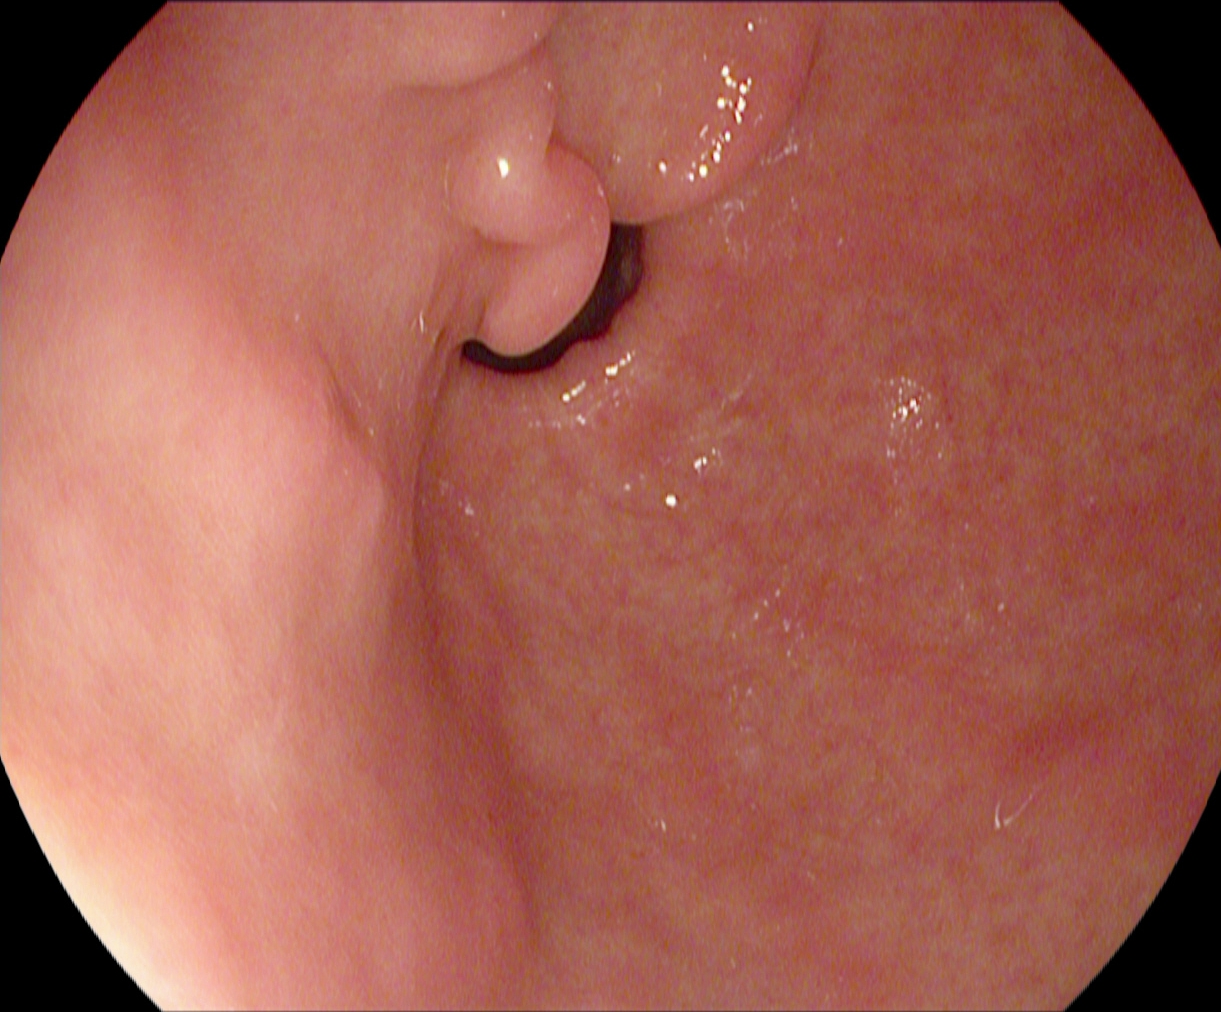PROCEDURE: Esophagogastroduodenoscopy.
FINDINGS: Pylorus.